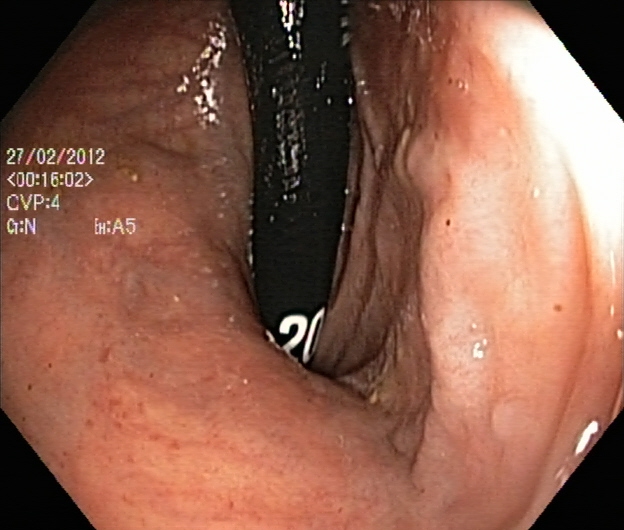modality: lower gastrointestinal endoscopy
tract: lower GI tract
category: anatomical landmark
finding: rectum in retroflexion